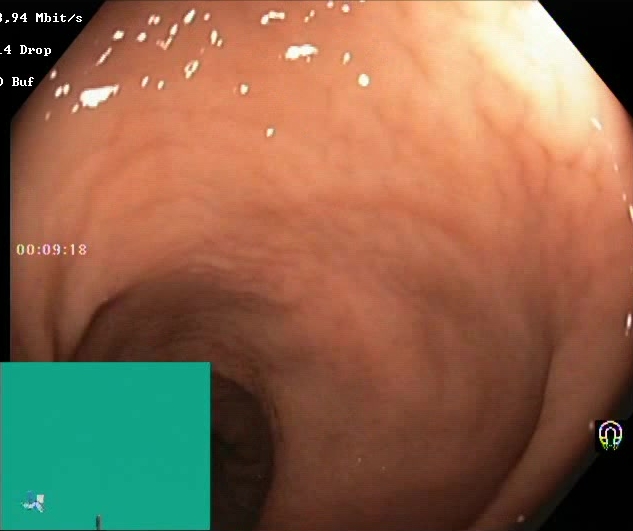modality: colonoscopy
category: mucosal-view quality
finding: BBPS score 2–3 (adequate preparation)